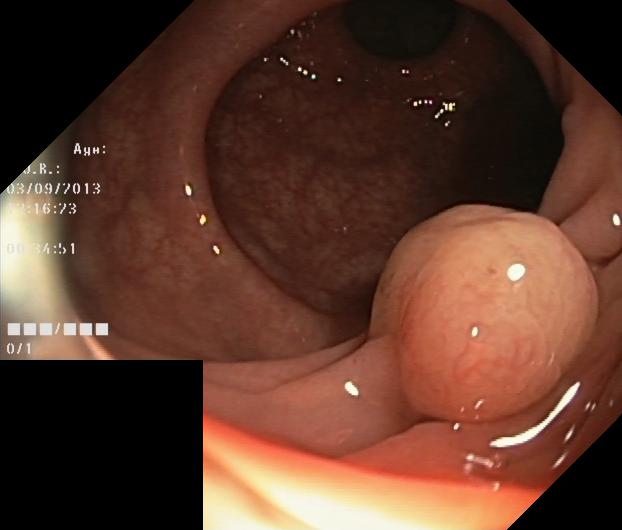This endoscopy frame of the lower GI tract shows colorectal polyp(s).